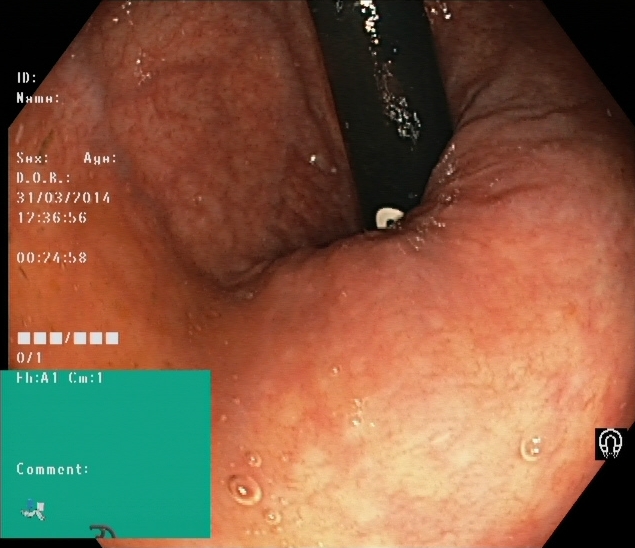Colonoscopy. Tract: lower GI tract. Anatomical landmark. Finding: rectum in retroflexion.